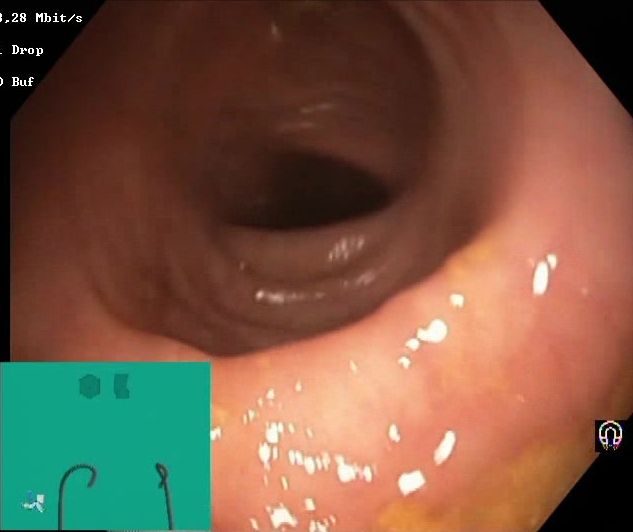Endoscopic image of the lower GI tract showing Boston Bowel Preparation Scale score 2–3 (adequate preparation).